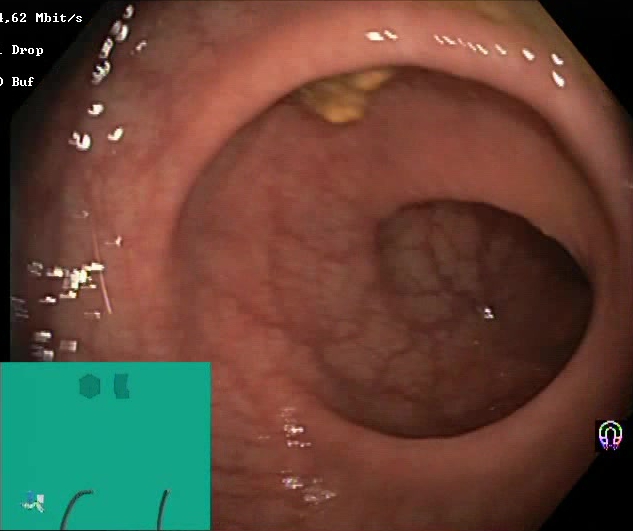modality: lower gastrointestinal endoscopy
category: mucosal-view quality
finding: BBPS score 2–3 (adequate preparation)